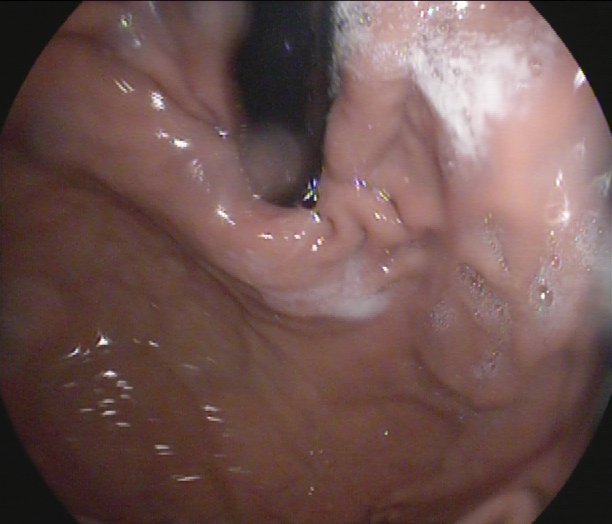Gastroscopy. Finding: stomach in retroflexion.